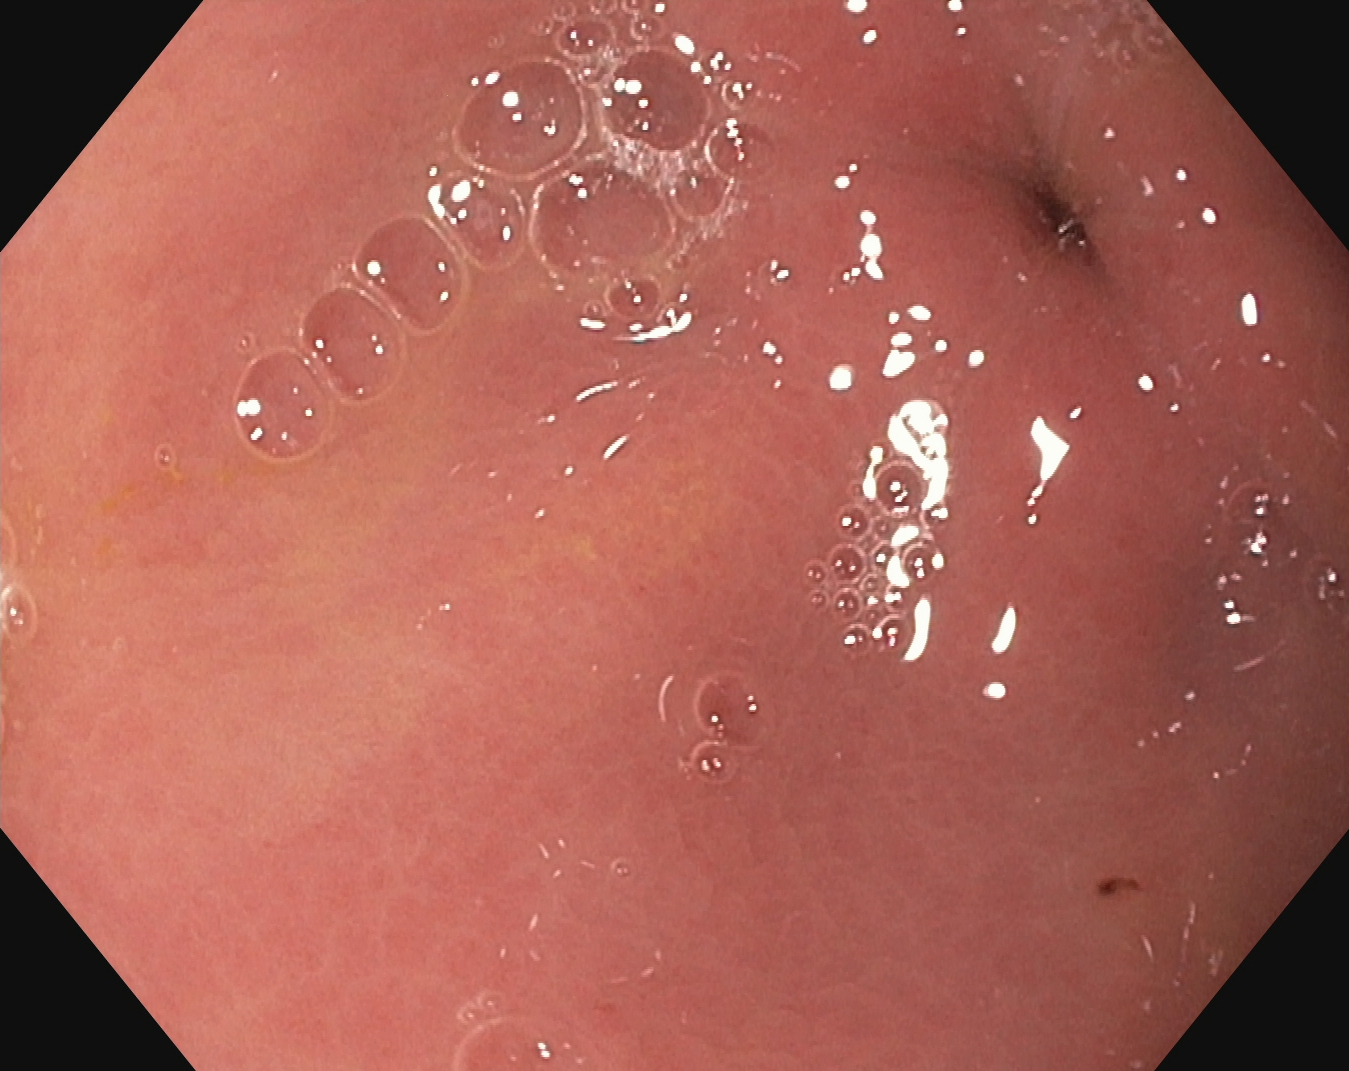Gastroscopy. Tract: upper GI tract. Anatomical landmark. Finding: pylorus.